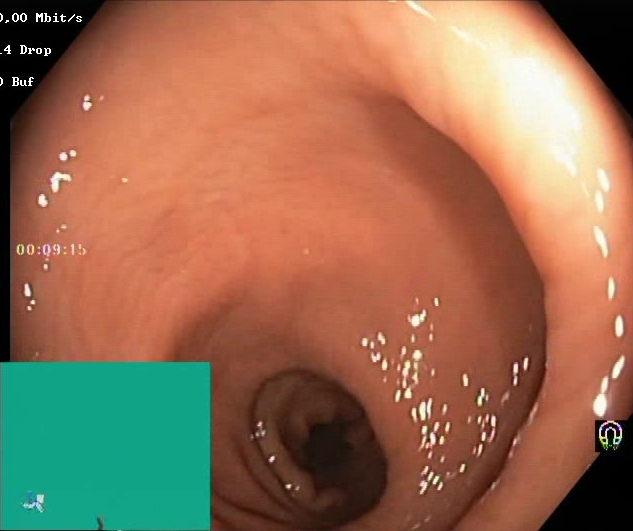PROCEDURE: Colonoscopy.
FINDINGS: BBPS score 2–3 (adequate preparation).